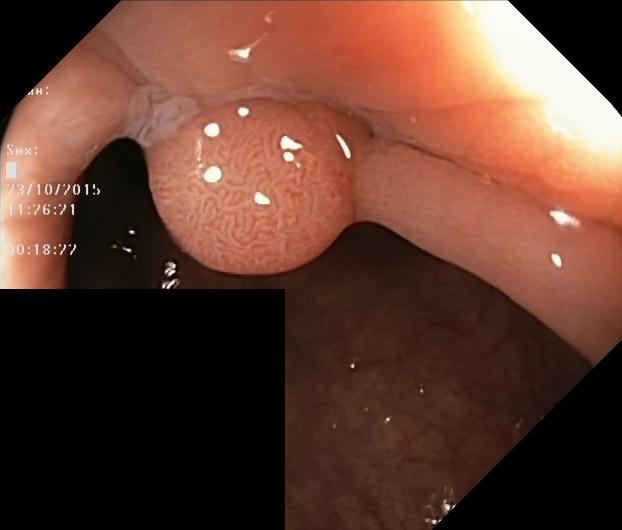This endoscopic image shows colorectal polyp(s).